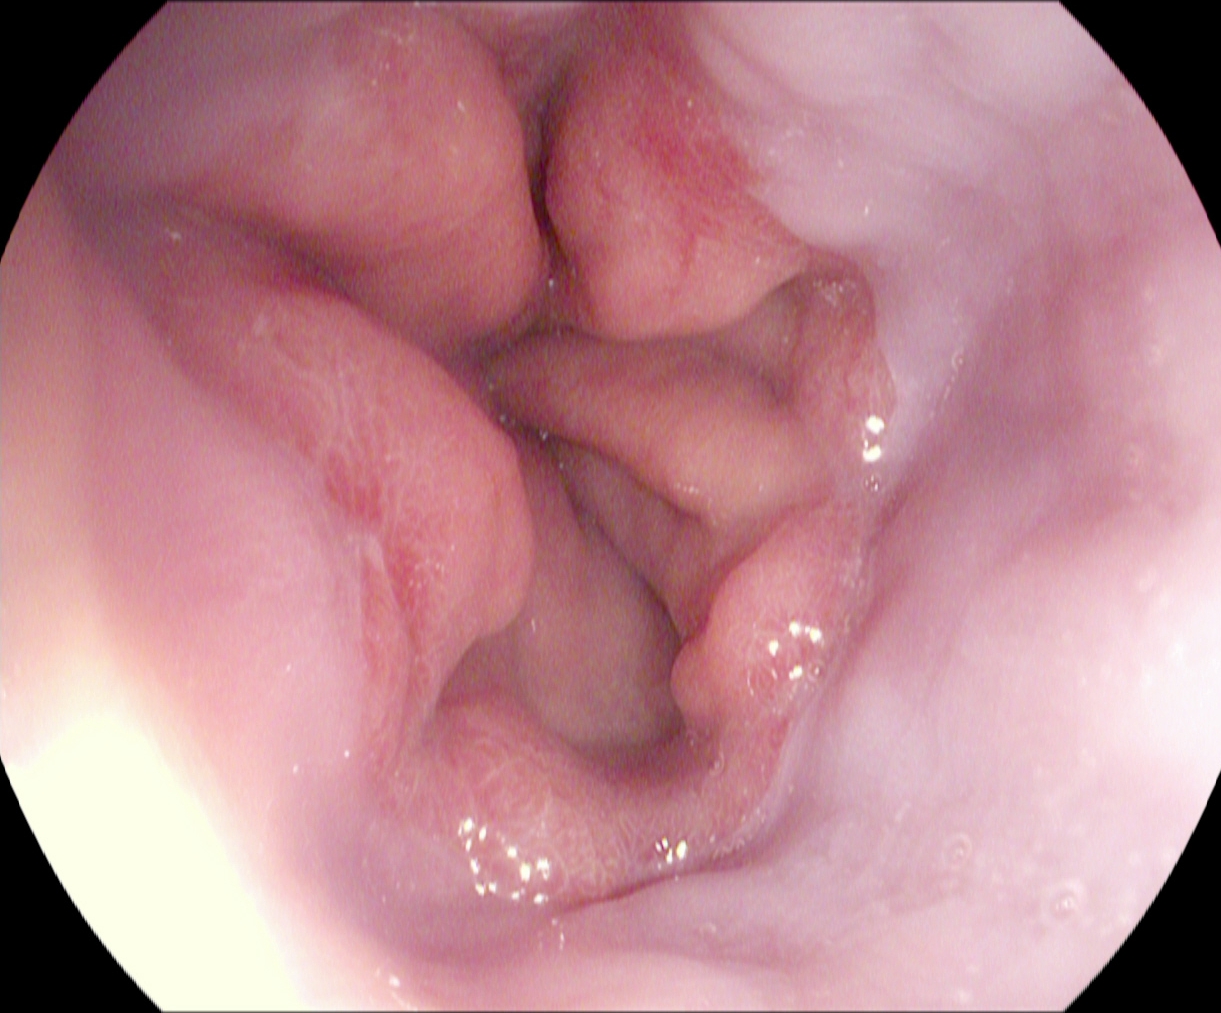Upper-GI endoscopy image of the upper GI tract showing reflux esophagitis, Los Angeles grade A.